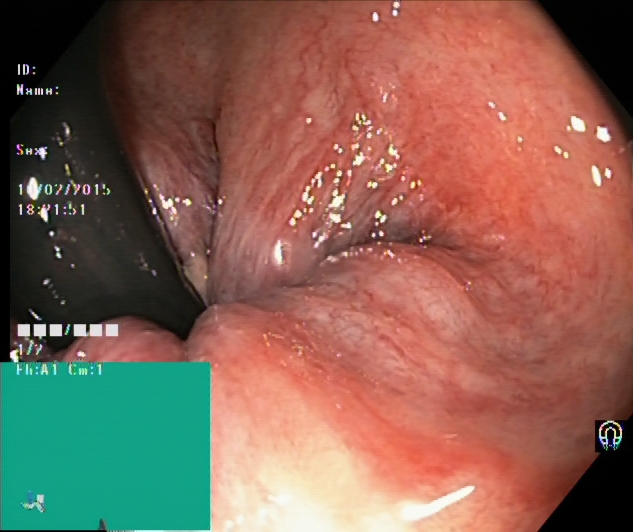Lower-GI endoscopy. Anatomical landmark. Finding: rectum in retroflexion.